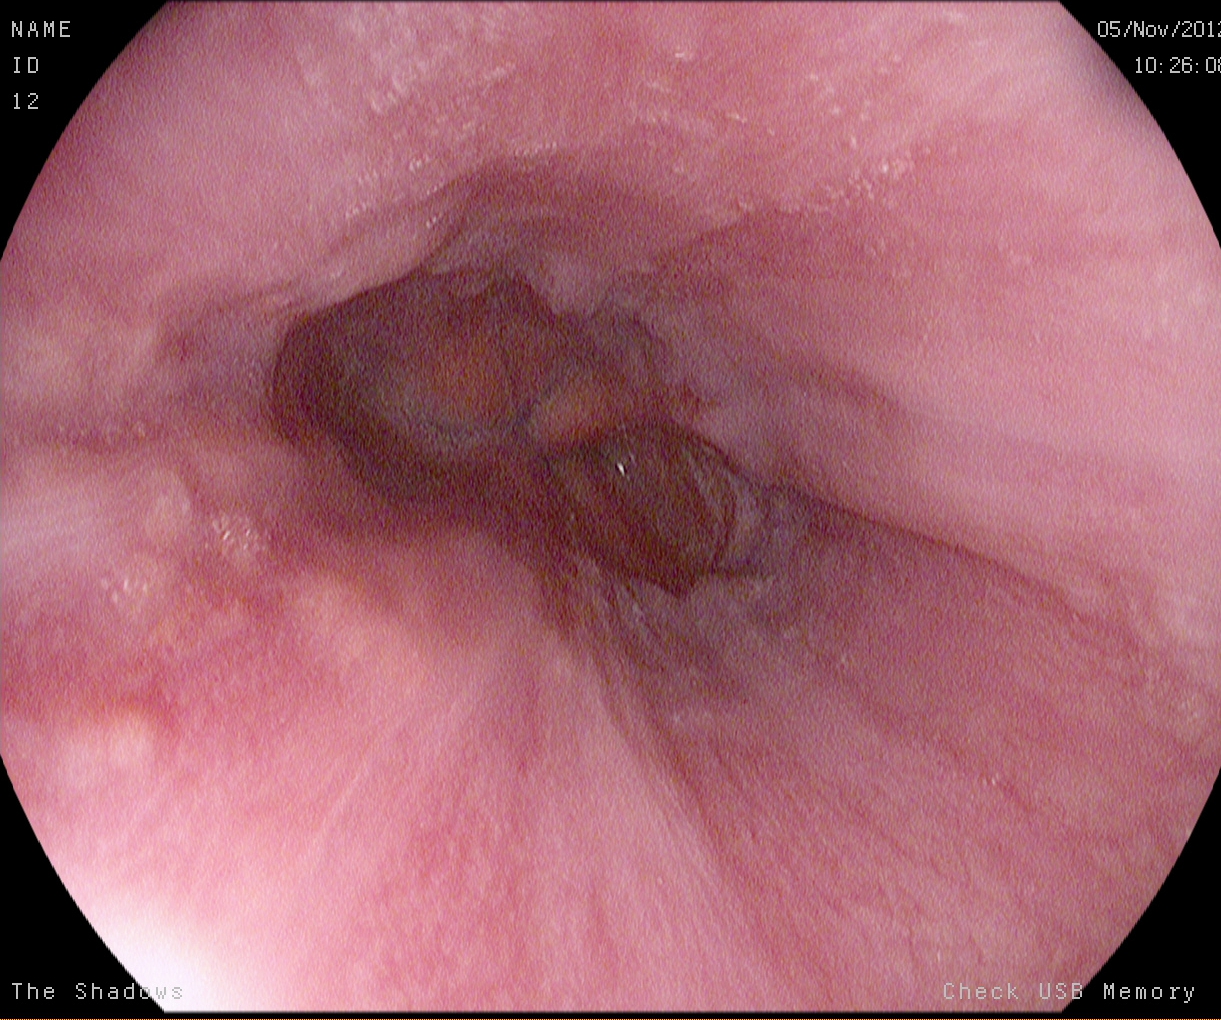Gastroscopy — reflux esophagitis, Los Angeles grade A.